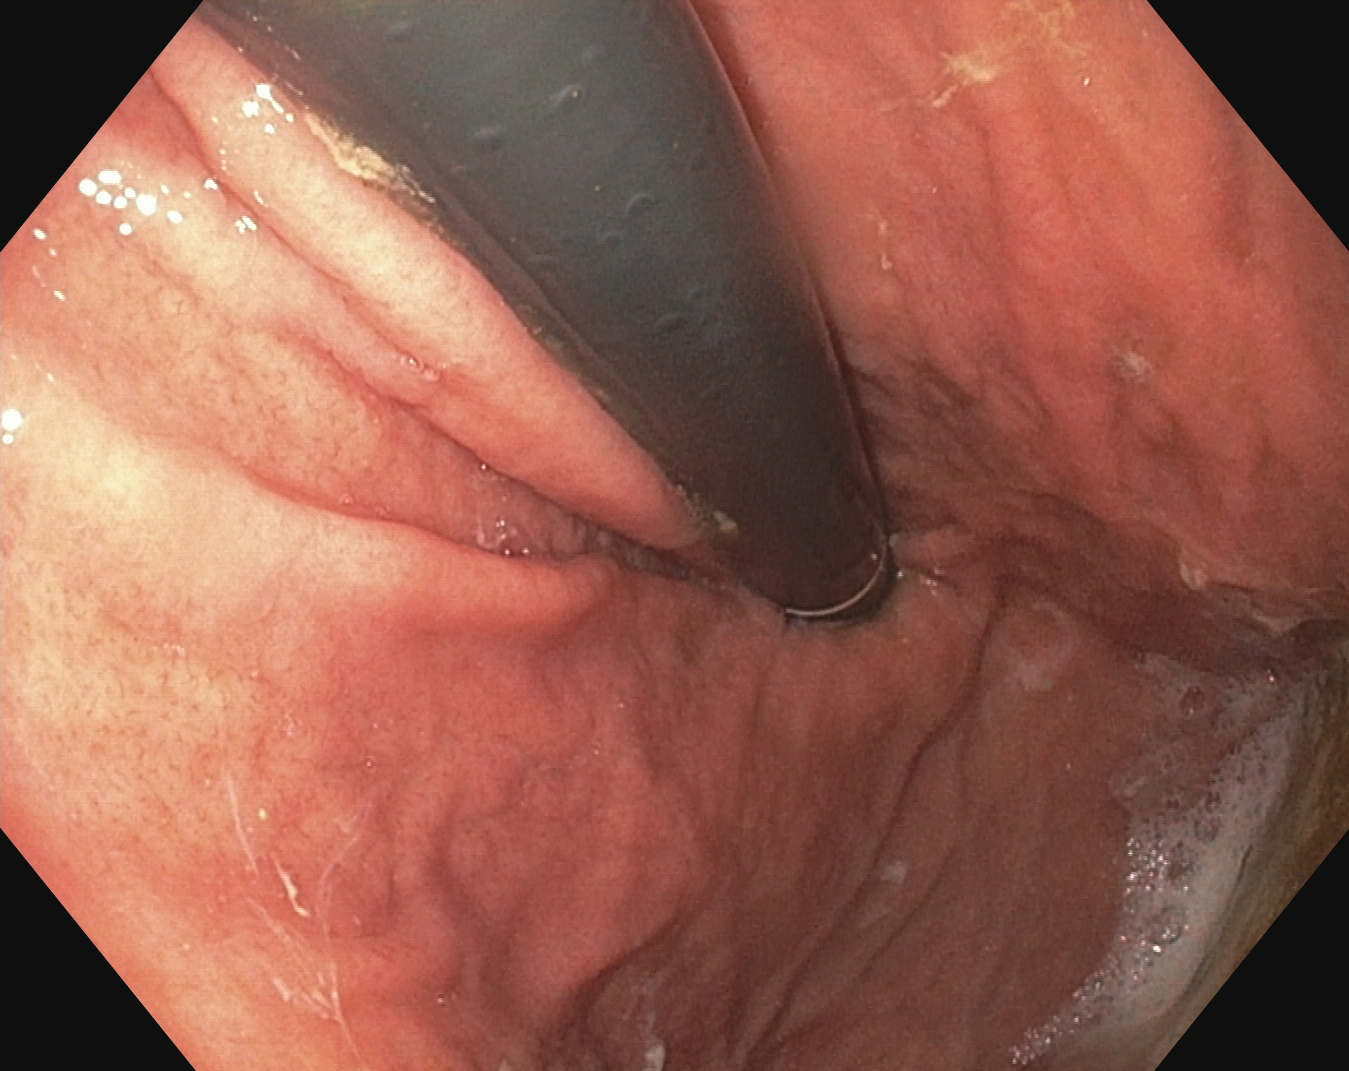modality: esophagogastroduodenoscopy; tract: upper GI tract; finding: stomach in retroflexion